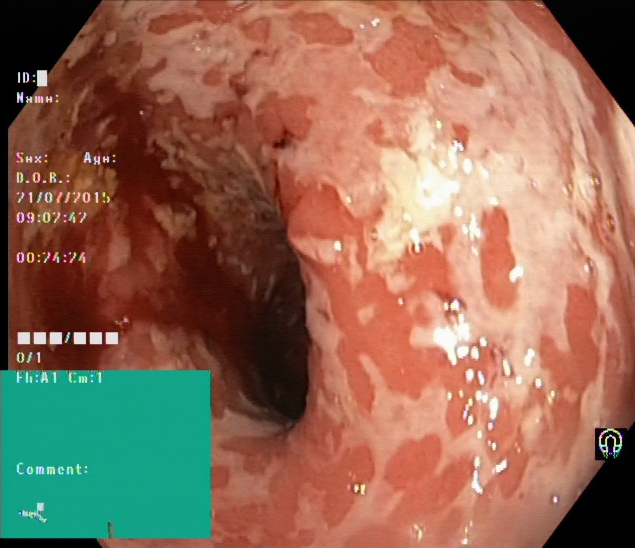This endoscopic image shows ulcerative colitis, Mayo endoscopic subscore 2.